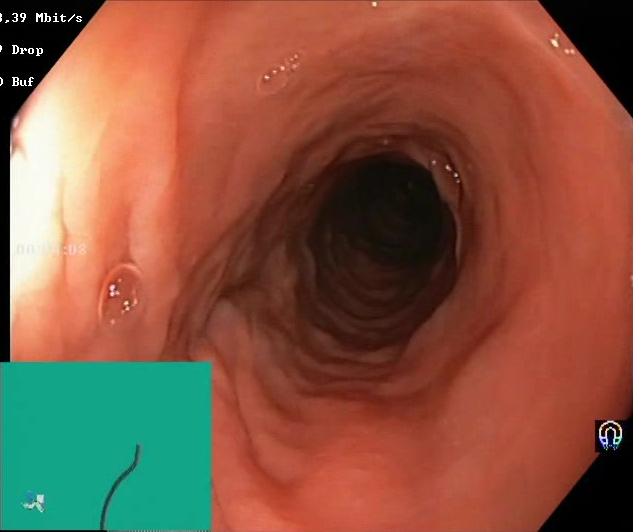Lower gastrointestinal endoscopy image of the lower GI tract showing Boston Bowel Preparation Scale score 2–3 (adequate preparation).